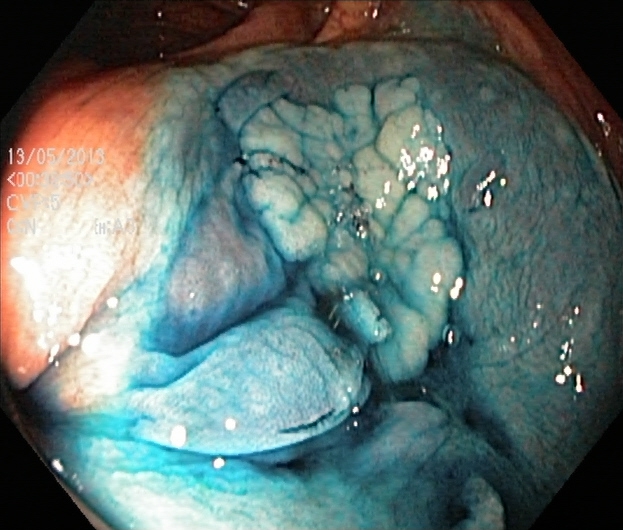Dyed and lifted polyp (pre-resection).